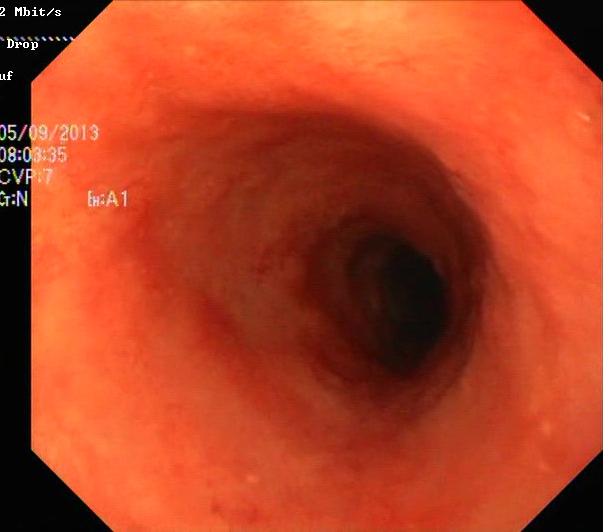Endoscopic frame of the lower GI tract showing ulcerative colitis, Mayo endoscopic subscore 1.